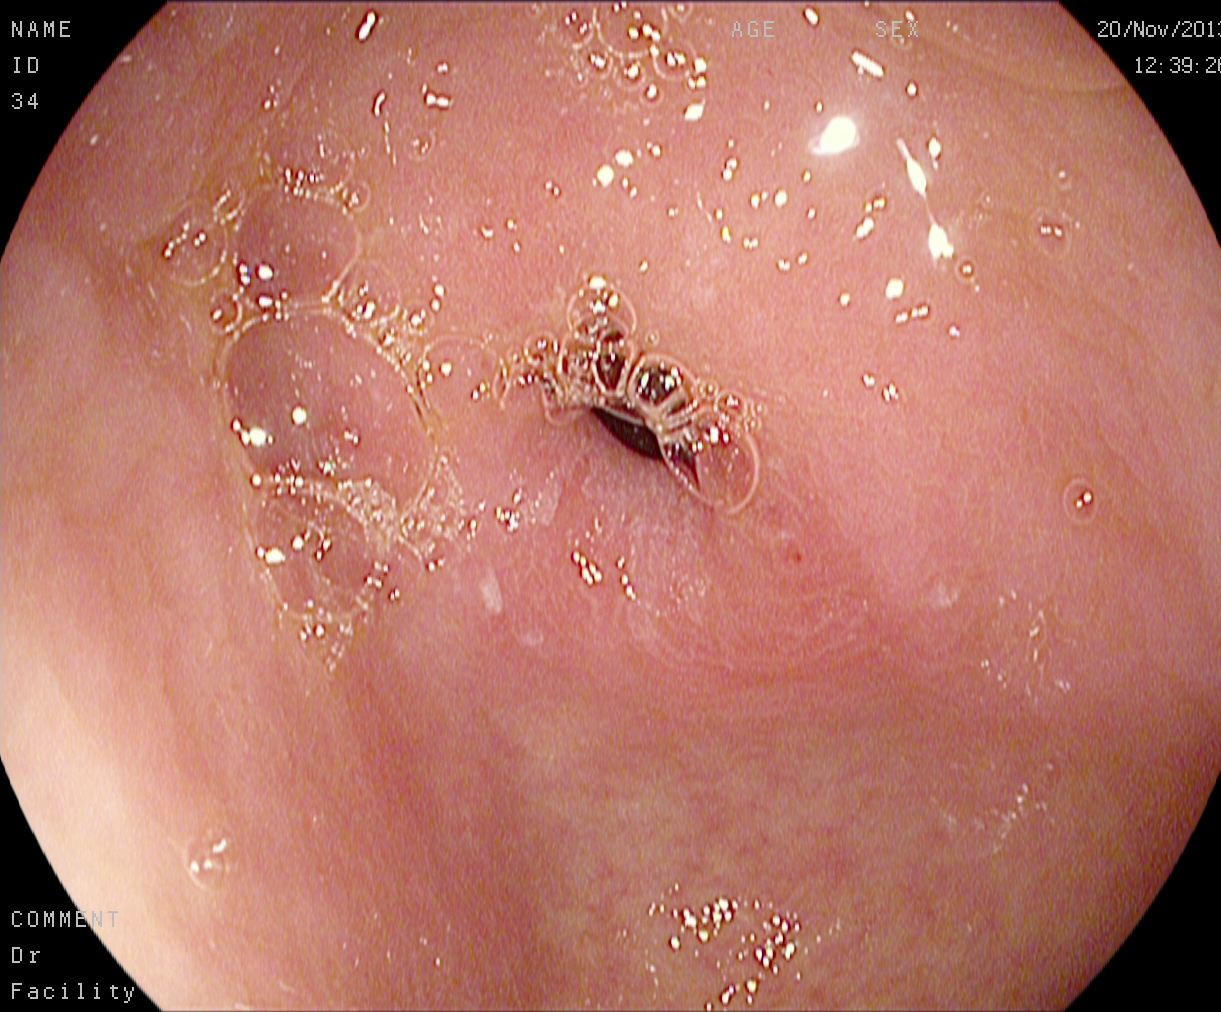modality: esophagogastroduodenoscopy; tract: upper GI tract; category: anatomical landmark; finding: pylorus